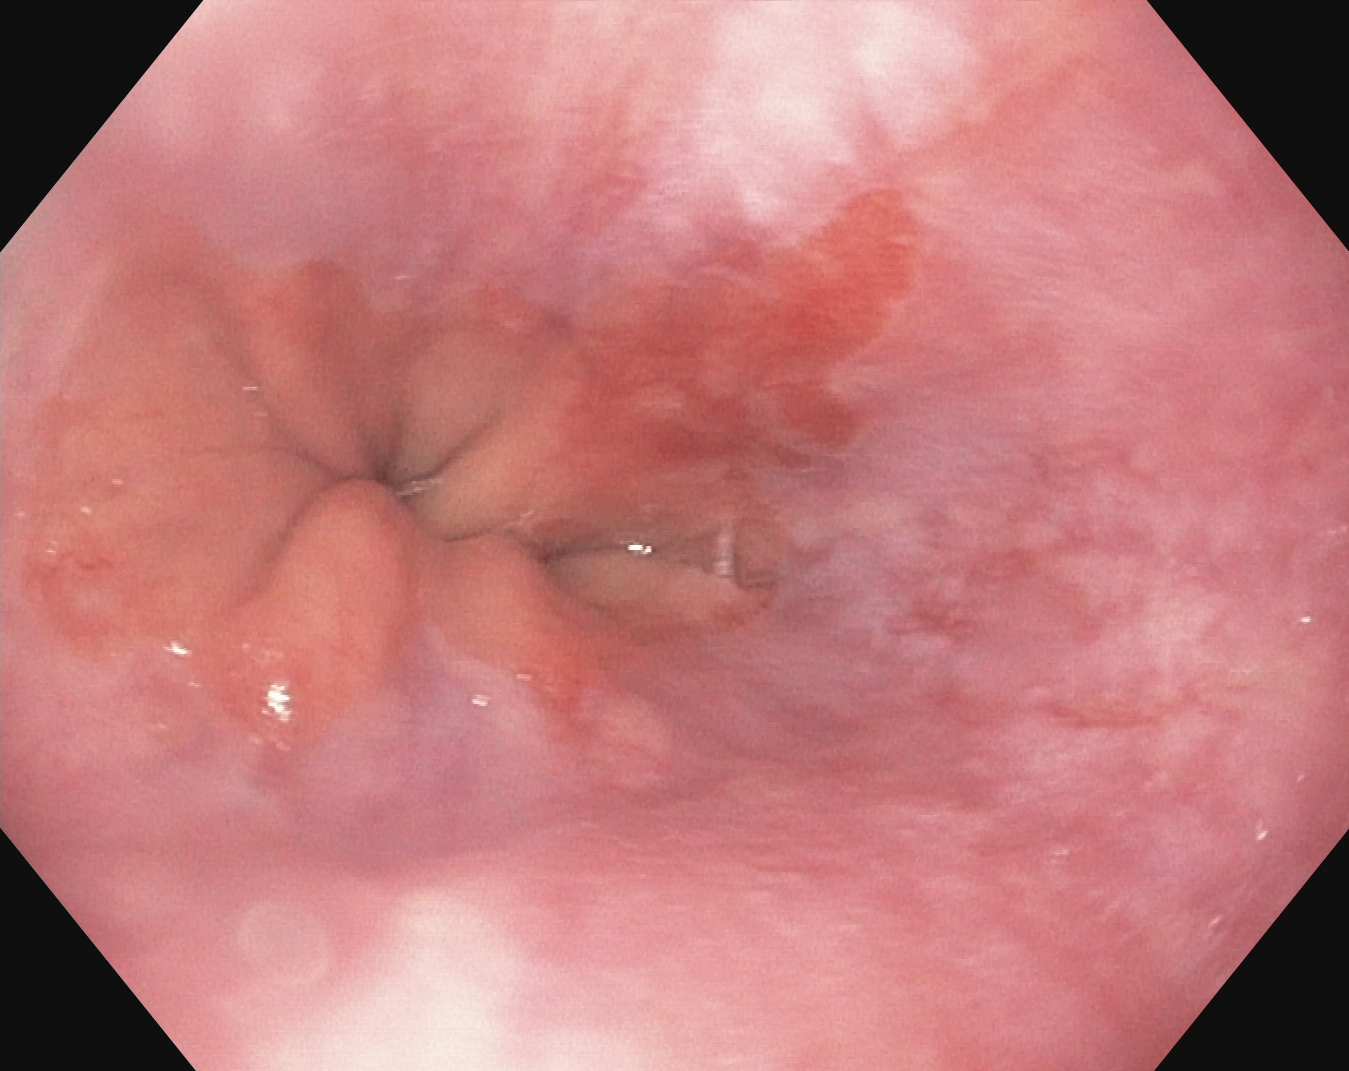modality: EGD
category: pathological finding
finding: reflux esophagitis, Los Angeles grade A